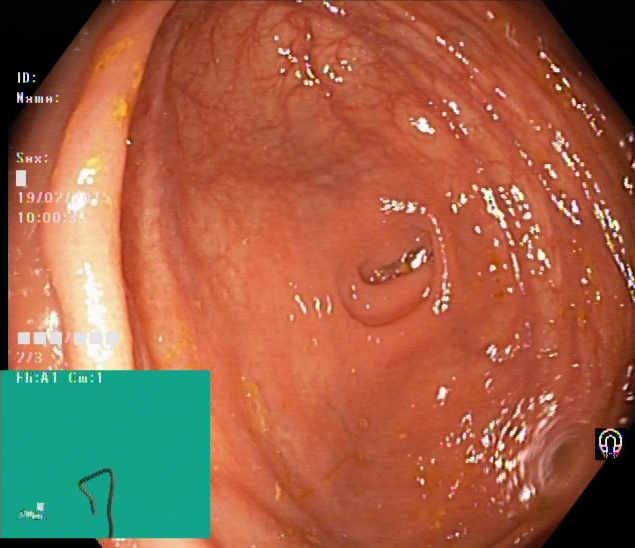This endoscopic image shows cecum.